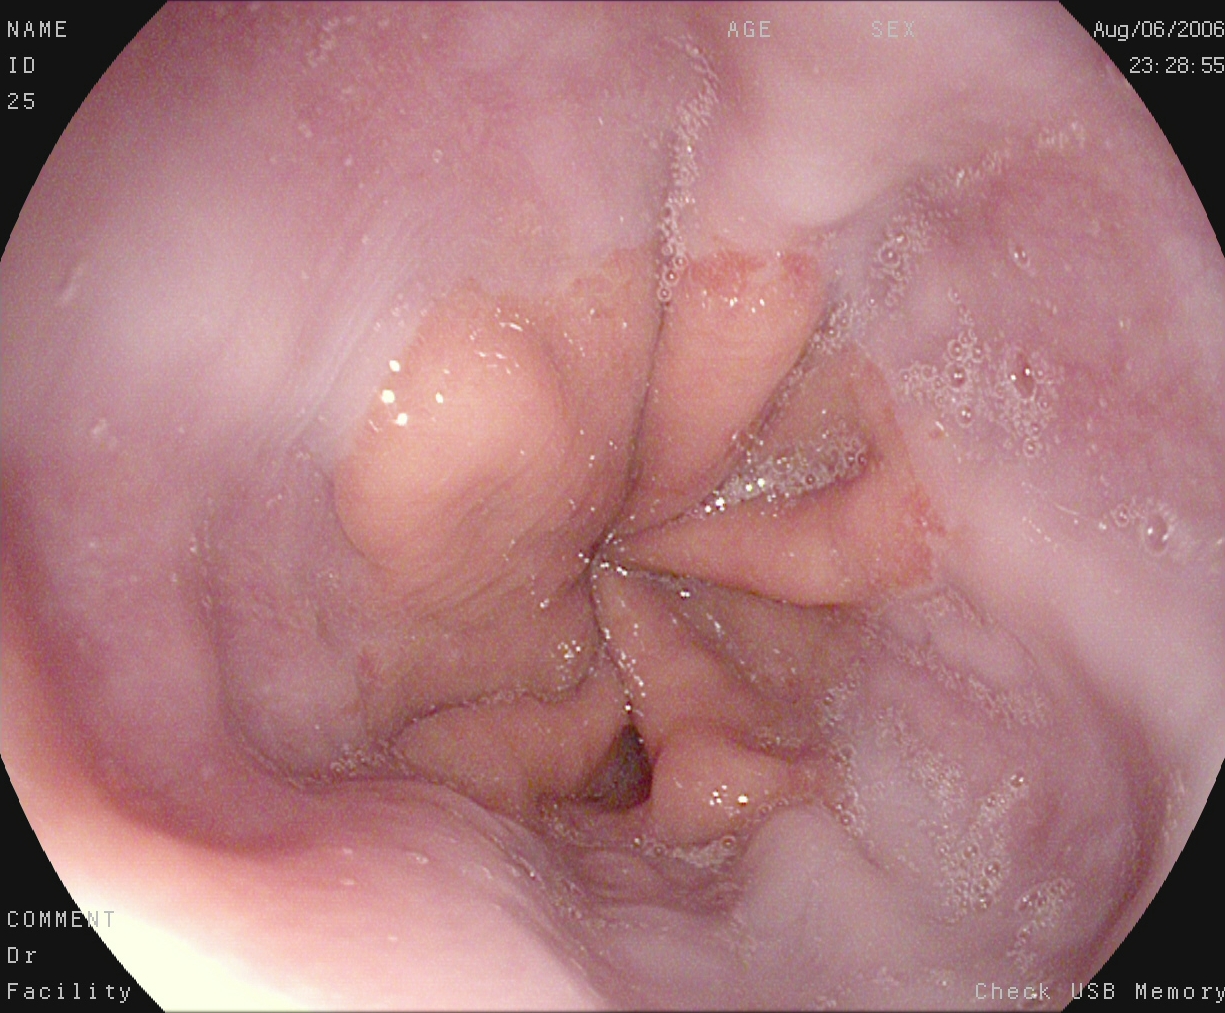modality: esophagogastroduodenoscopy; finding: Z-line (gastroesophageal junction)